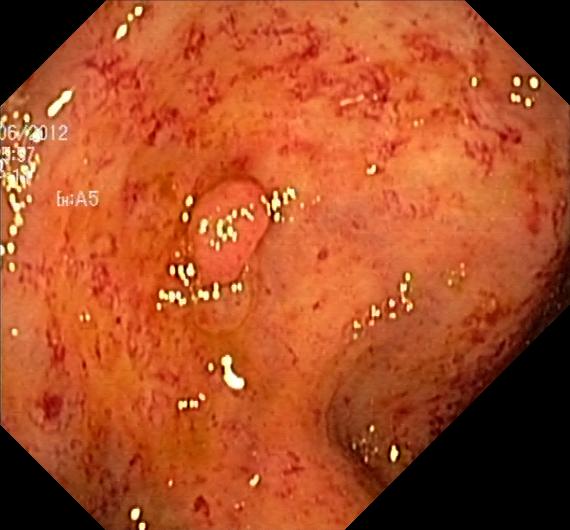{"modality": "lower-GI endoscopy", "tract": "lower GI tract", "finding": "colorectal polyp(s)"}